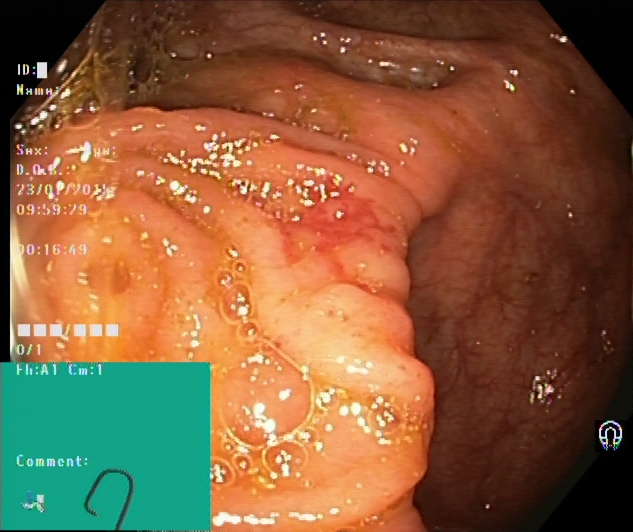{"modality": "lower gastrointestinal endoscopy", "tract": "lower GI tract", "finding": "cecum"}